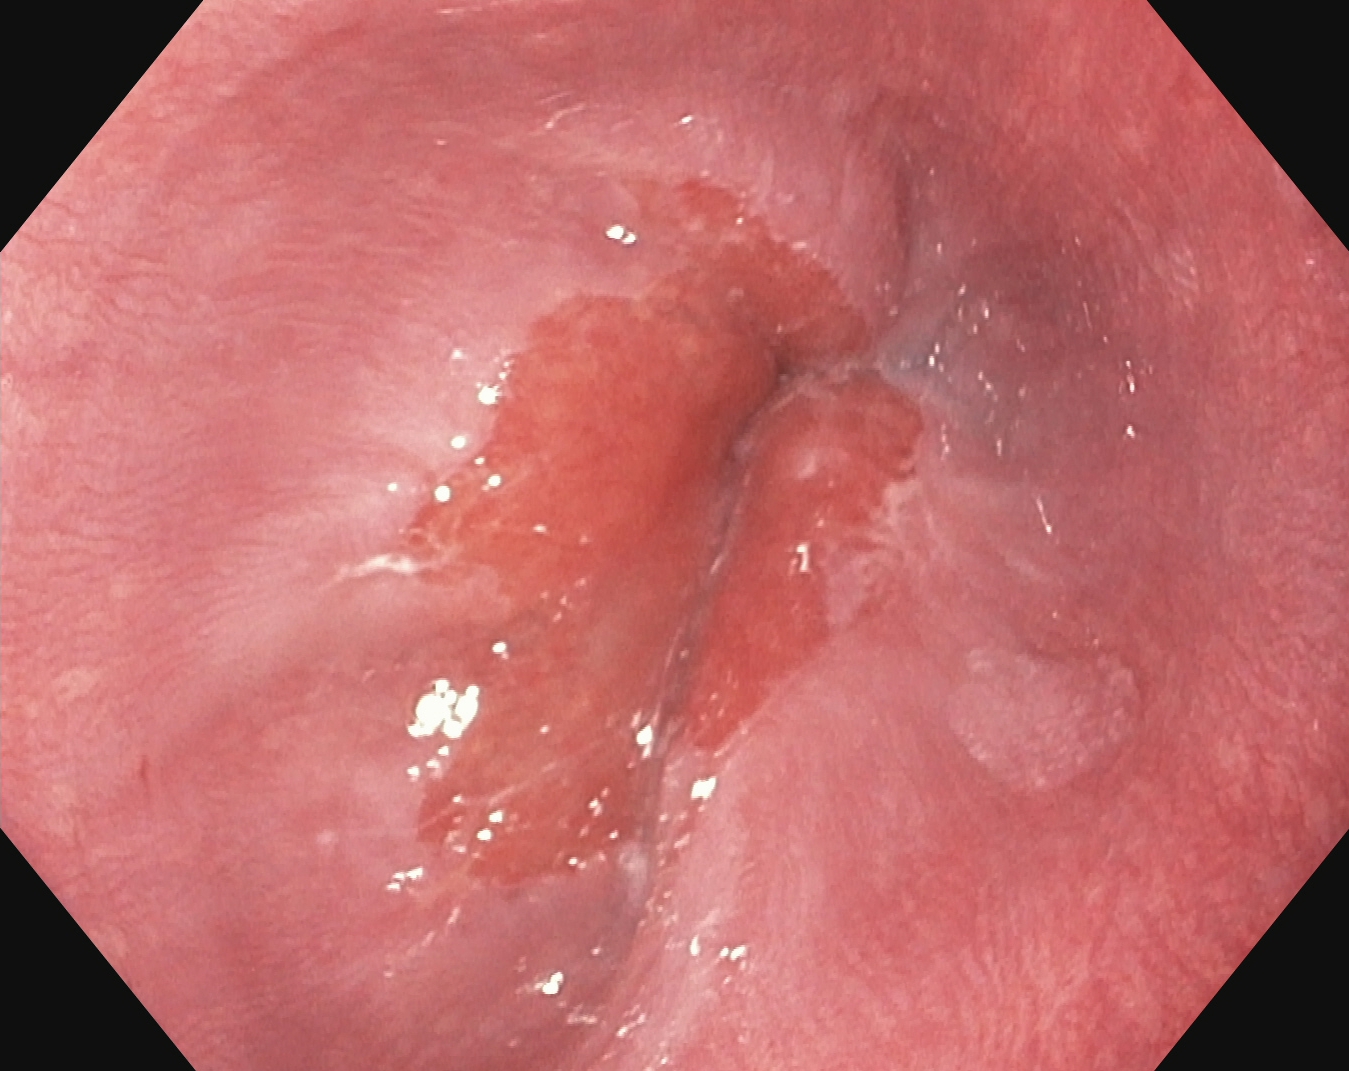{"modality": "esophagogastroduodenoscopy", "tract": "upper GI tract", "category": "anatomical landmark", "finding": "Z-line (gastroesophageal junction)"}